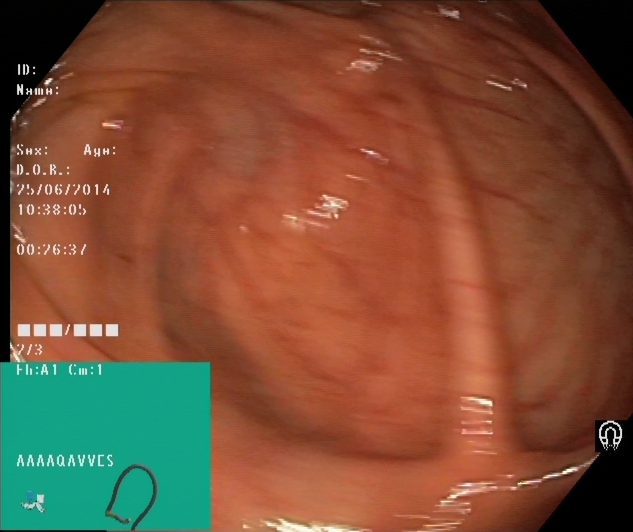This endoscopic image shows cecum.